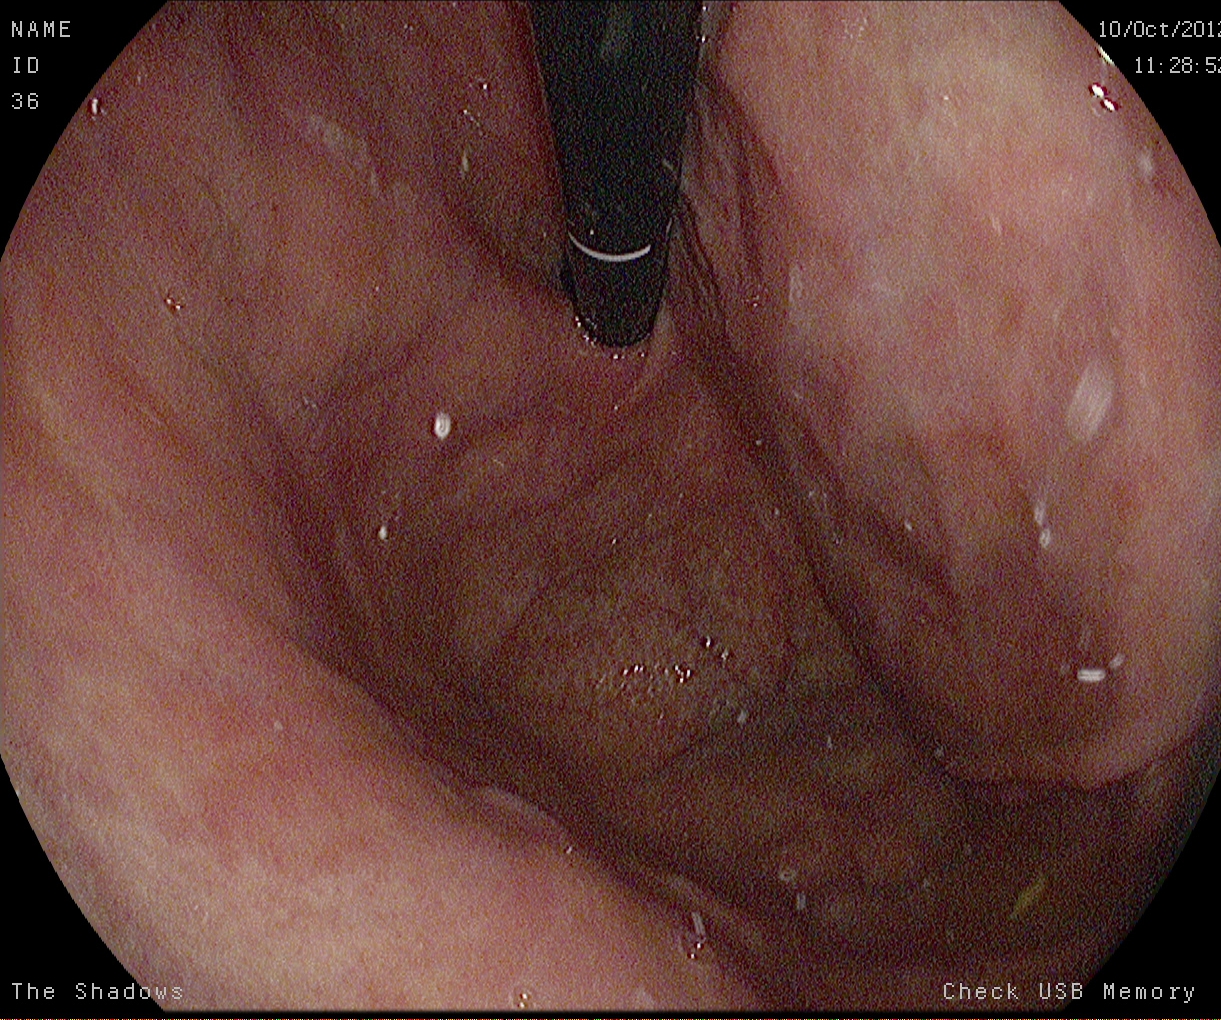Esophagogastroduodenoscopy — stomach in retroflexion.